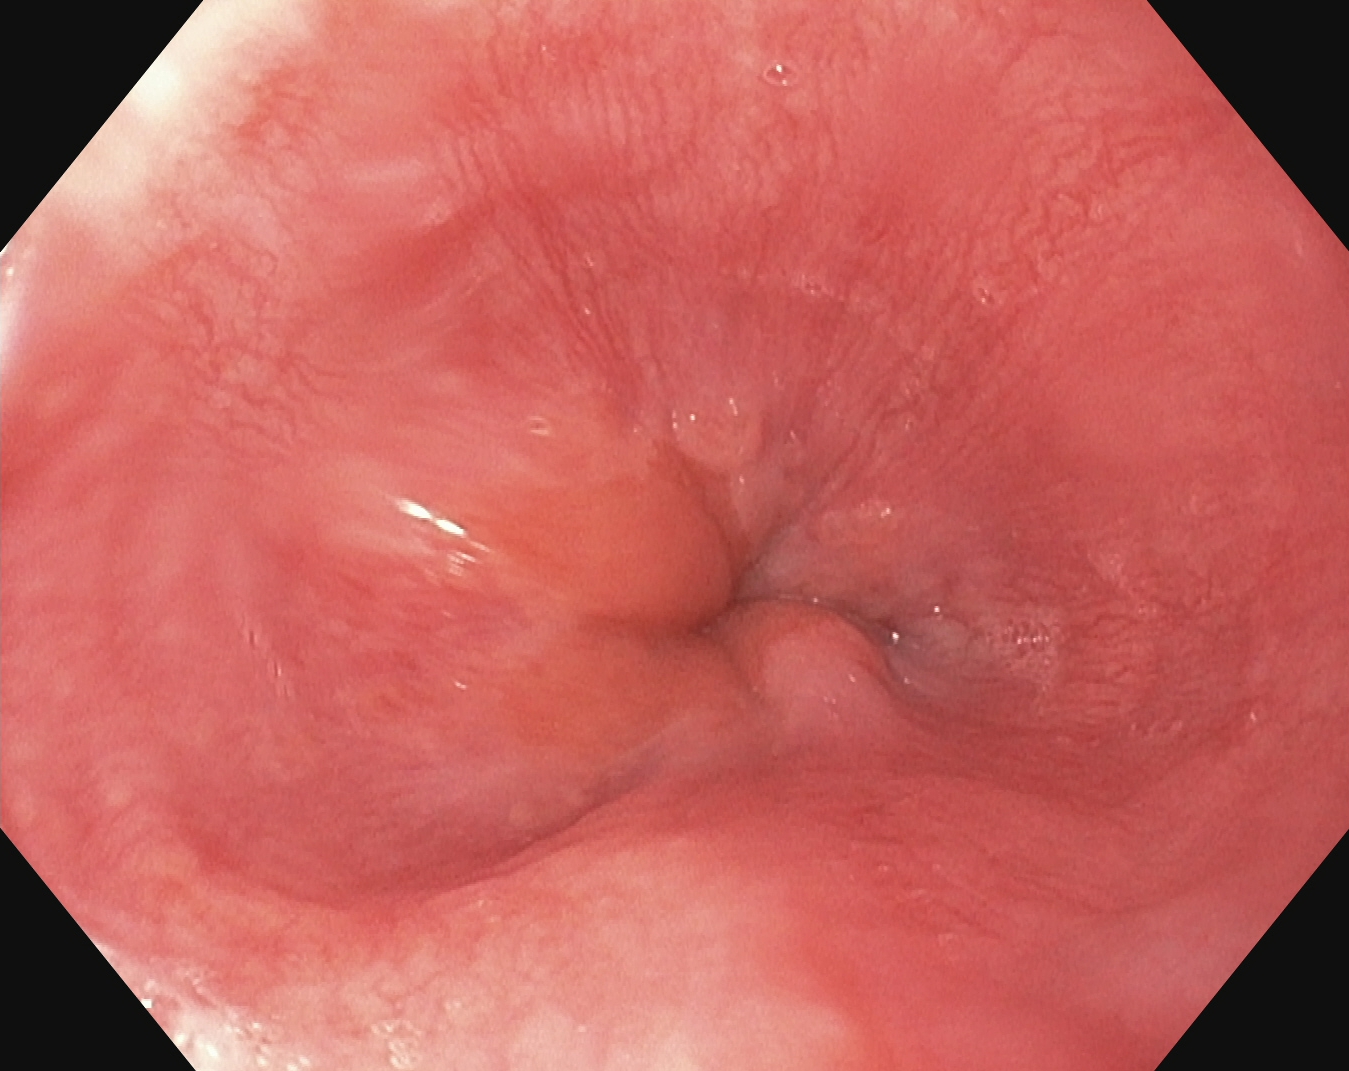Z-line (gastroesophageal junction).